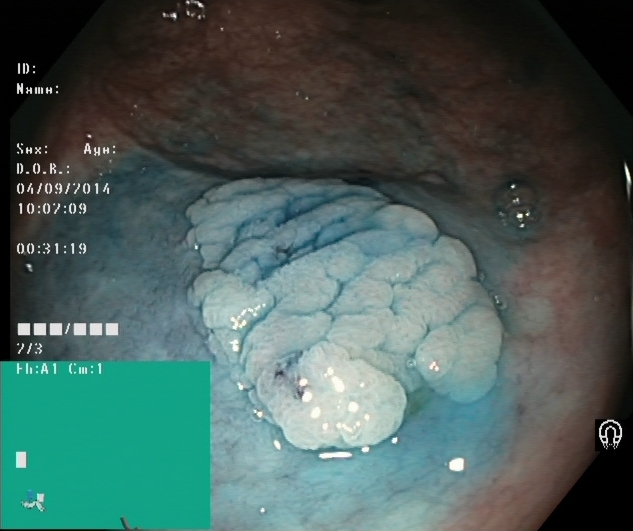modality: lower gastrointestinal endoscopy; tract: lower GI tract; finding: dyed and lifted polyp (pre-resection)